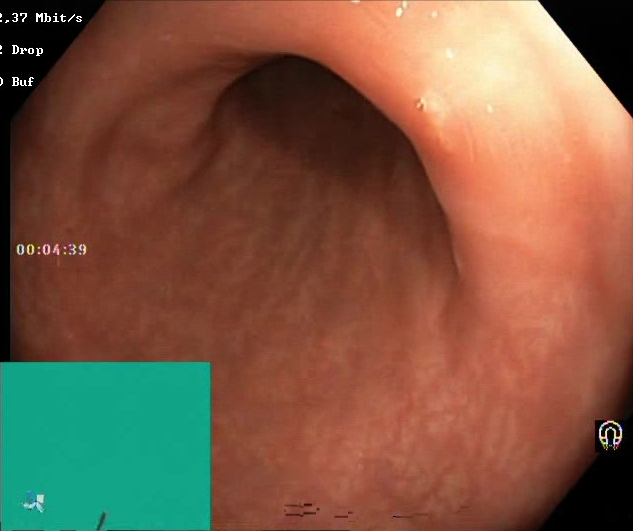Boston Bowel Preparation Scale score 2–3 (adequate preparation).